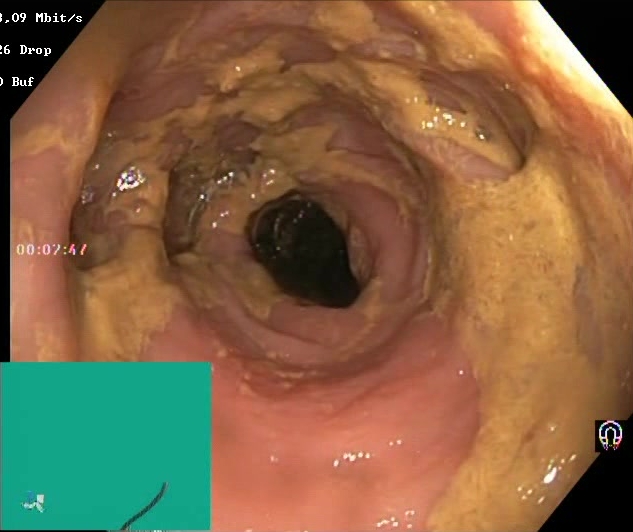This endoscopic image of the lower GI tract shows Boston Bowel Preparation Scale score 0–1 (inadequate preparation).